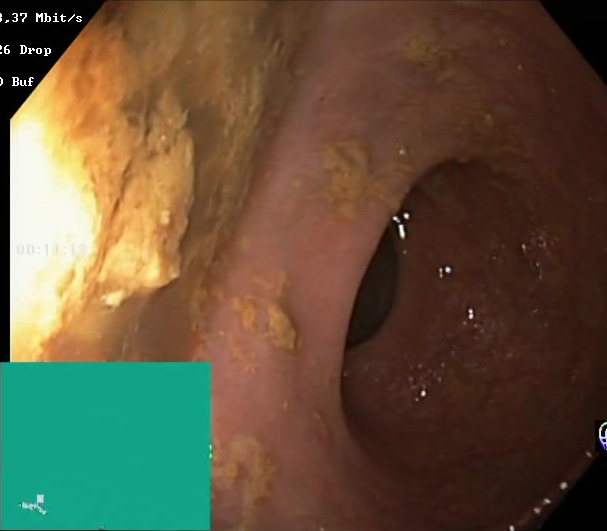Endoscopy image of the lower GI tract showing Boston Bowel Preparation Scale score 0–1 (inadequate preparation).